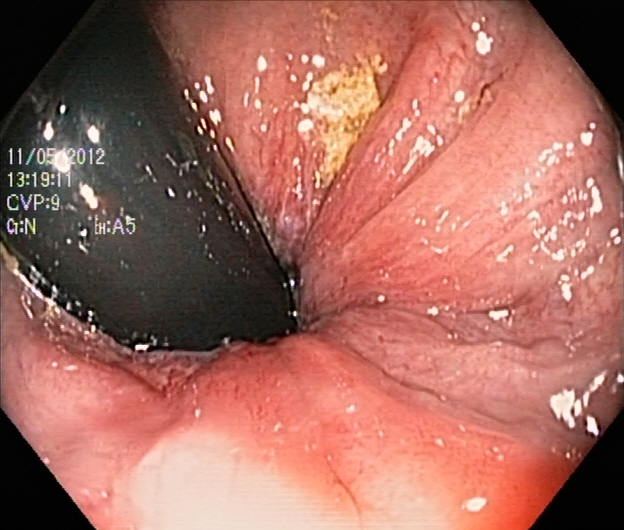{"modality": "lower gastrointestinal endoscopy", "tract": "lower GI tract", "category": "anatomical landmark", "finding": "rectum in retroflexion"}